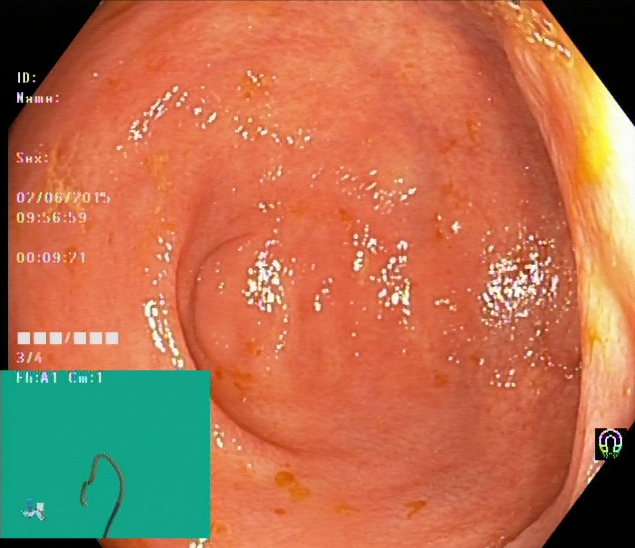Endoscopic frame showing UC, Mayo endoscopic subscore 1.